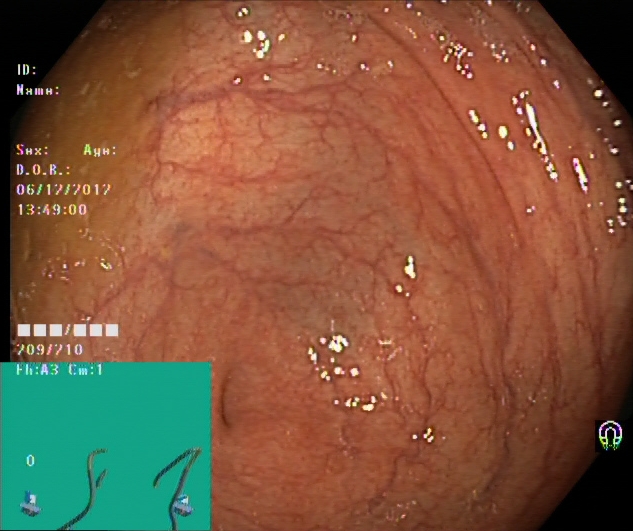Colonoscopy — cecum.